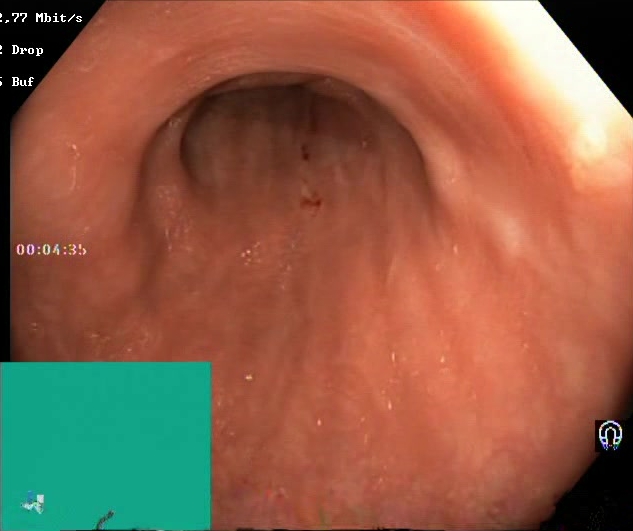modality: lower-GI endoscopy
tract: lower GI tract
category: mucosal-view quality
finding: BBPS score 2–3 (adequate preparation)